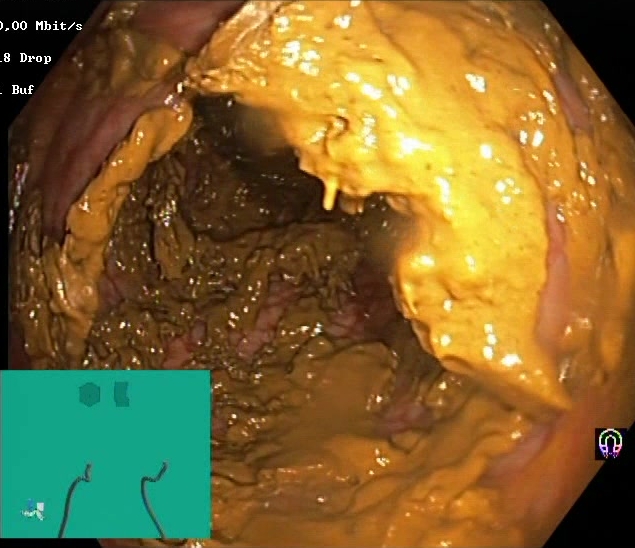BBPS score 0–1 (inadequate preparation).